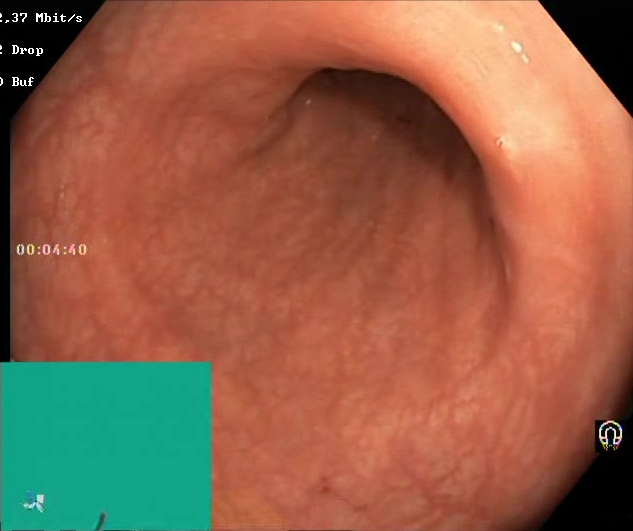Boston Bowel Preparation Scale score 2–3 (adequate preparation).